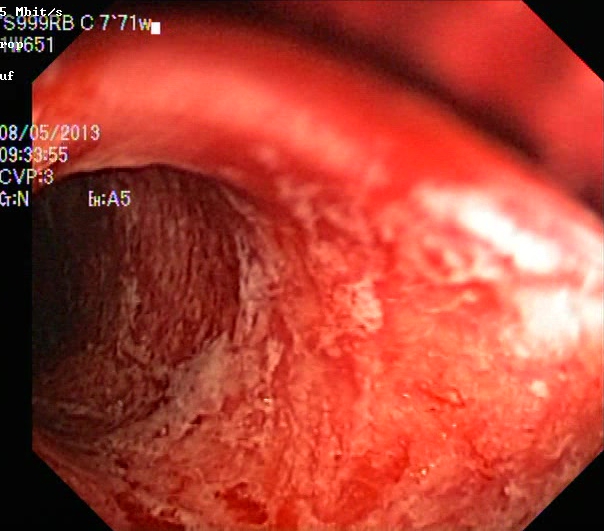Ulcerative colitis, Mayo endoscopic subscore 3.